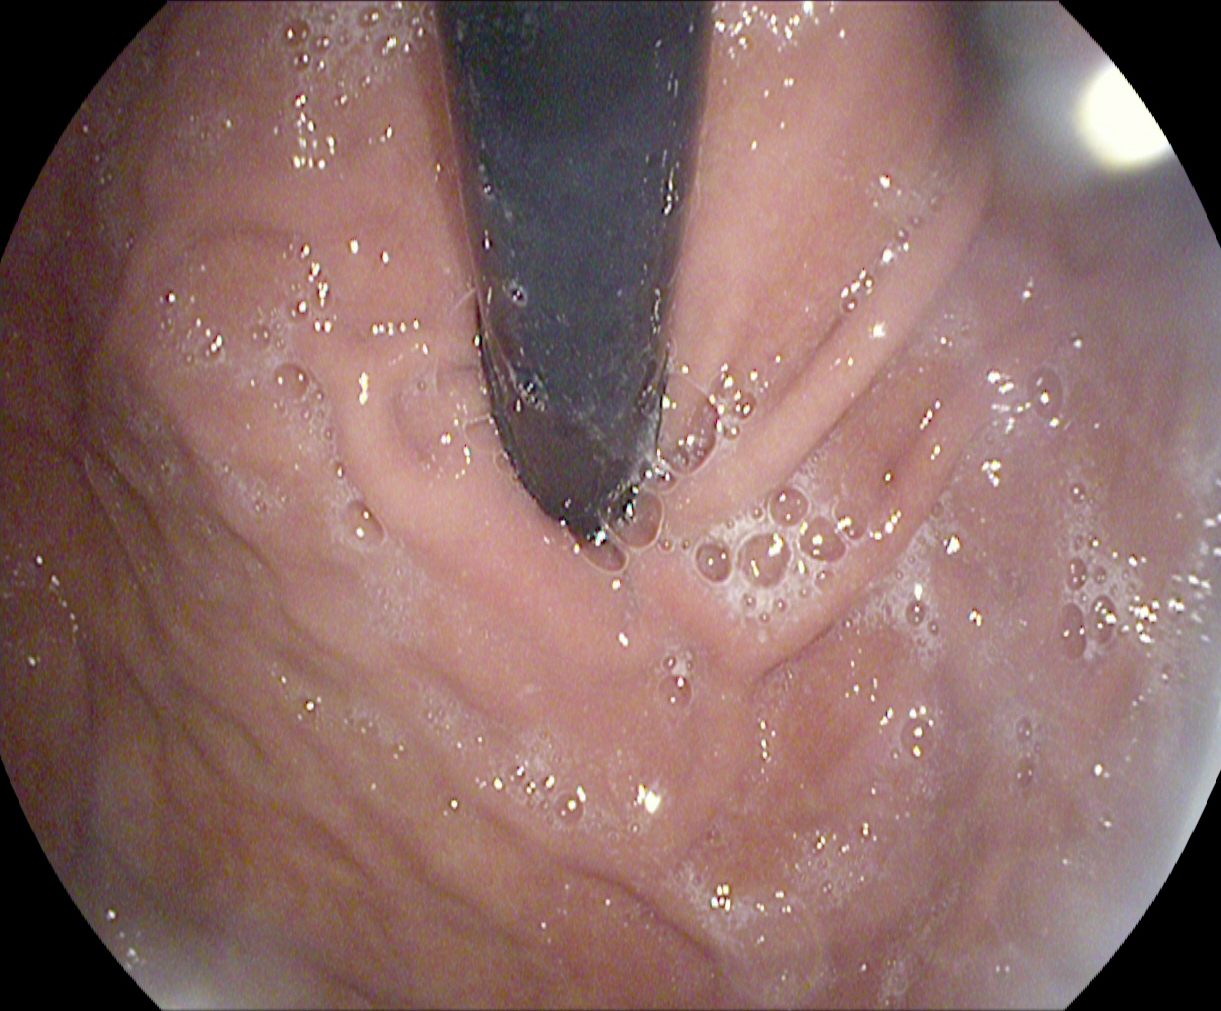This endoscopy frame of the upper GI tract shows stomach in retroflexion.